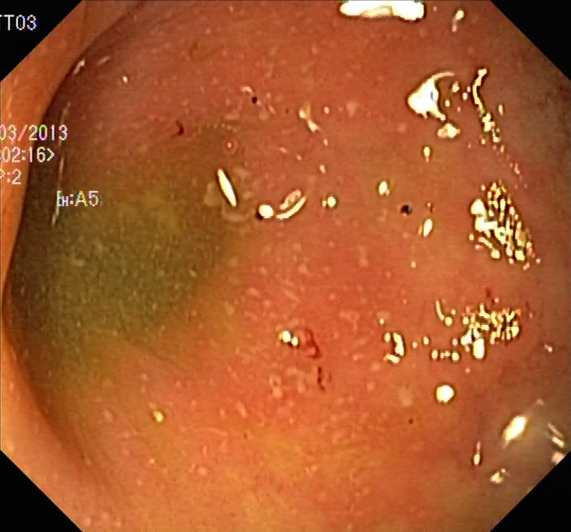{"modality": "lower-GI endoscopy", "tract": "lower GI tract", "finding": "ulcerative colitis, Mayo endoscopic subscore 2"}